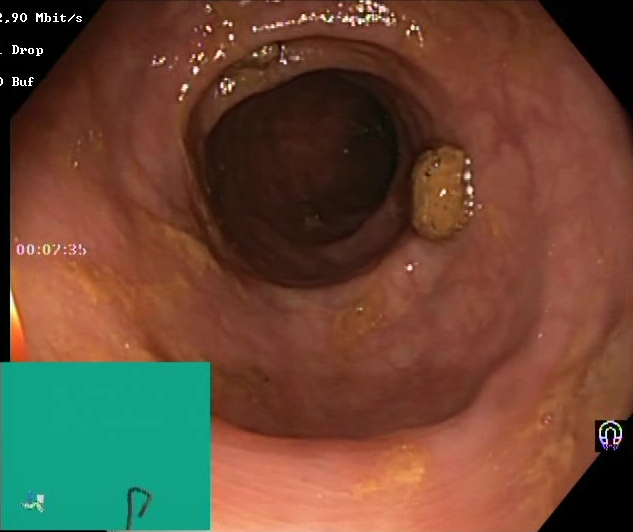Lower gastrointestinal endoscopy. Tract: lower GI tract. Finding: BBPS score 2–3 (adequate preparation).